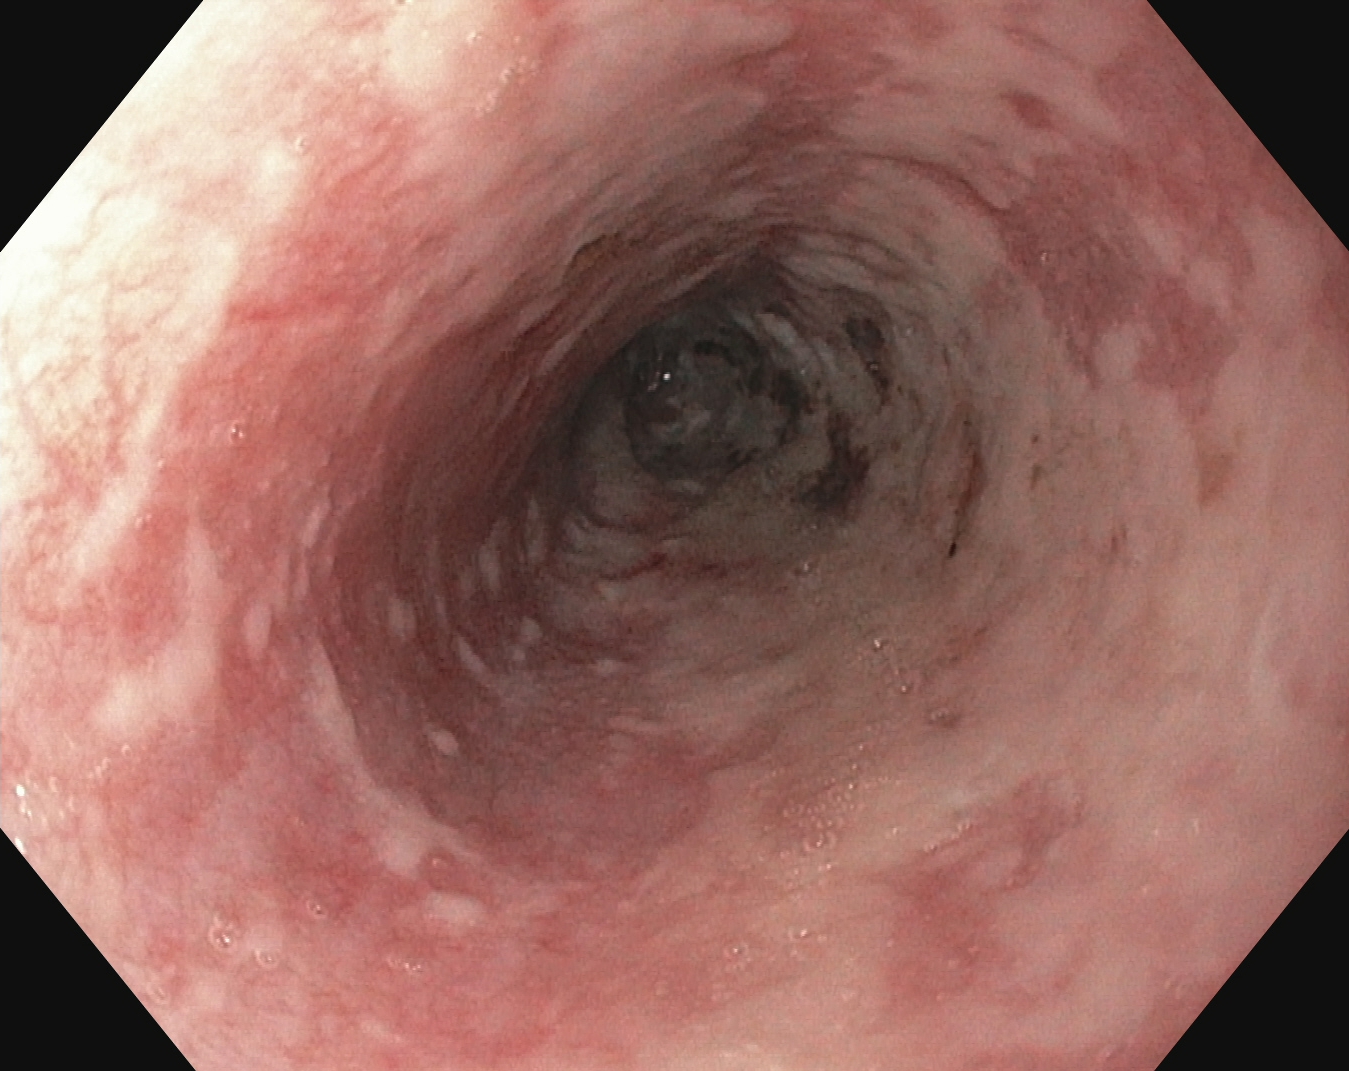Reflux esophagitis, LA grade B–D.